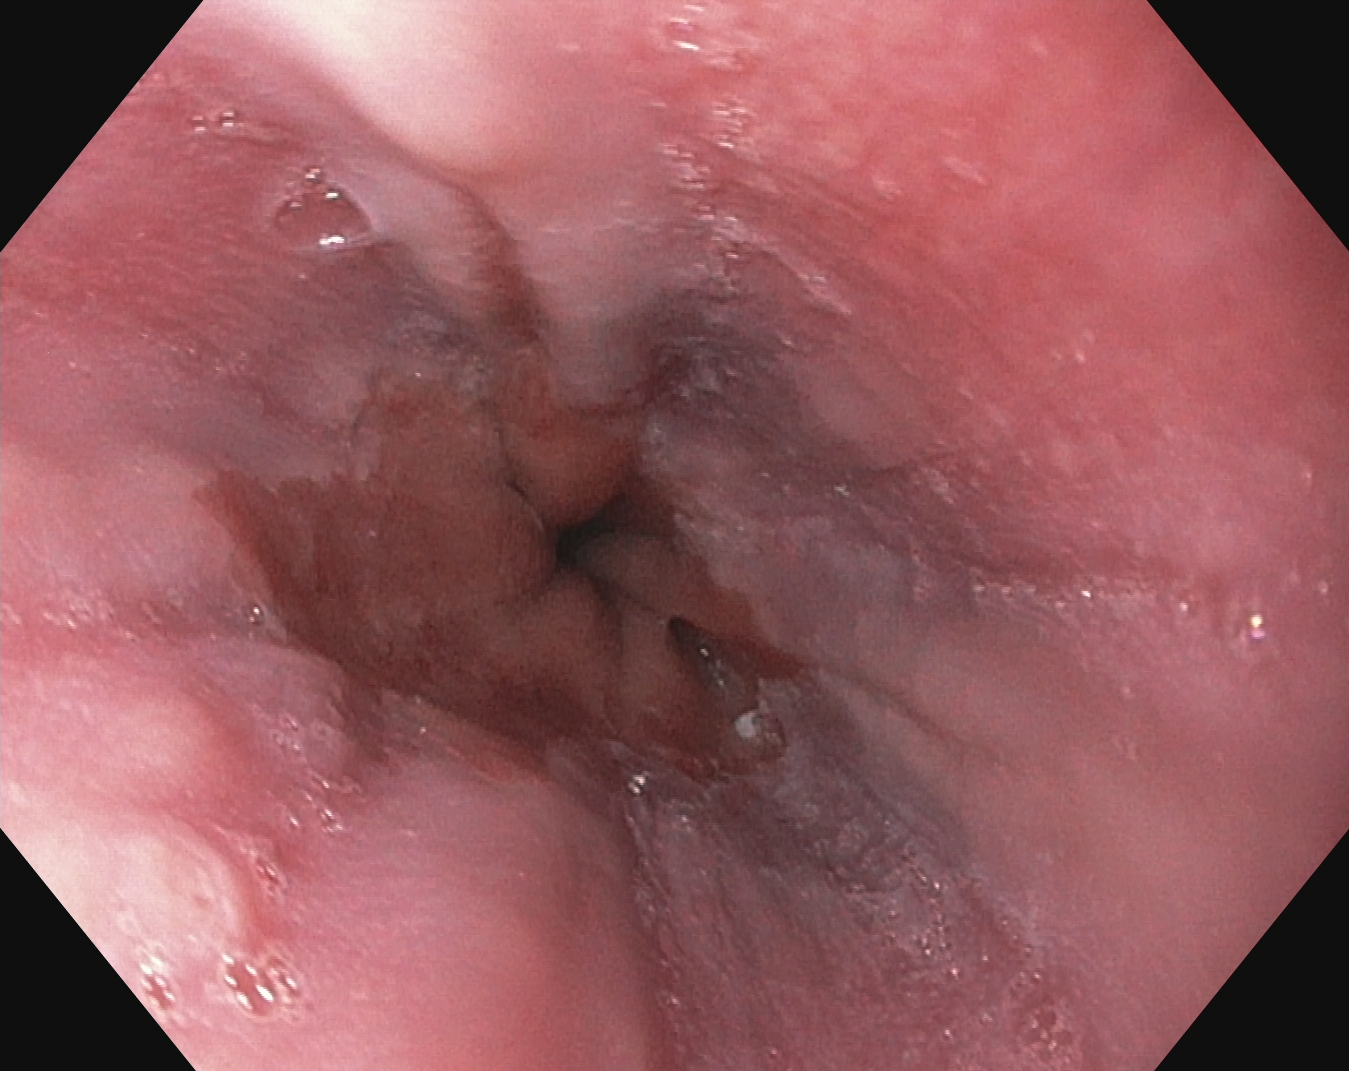PROCEDURE: Gastroscopy.
CATEGORY: Pathological finding.
FINDINGS: Reflux esophagitis, Los Angeles grade B–D.